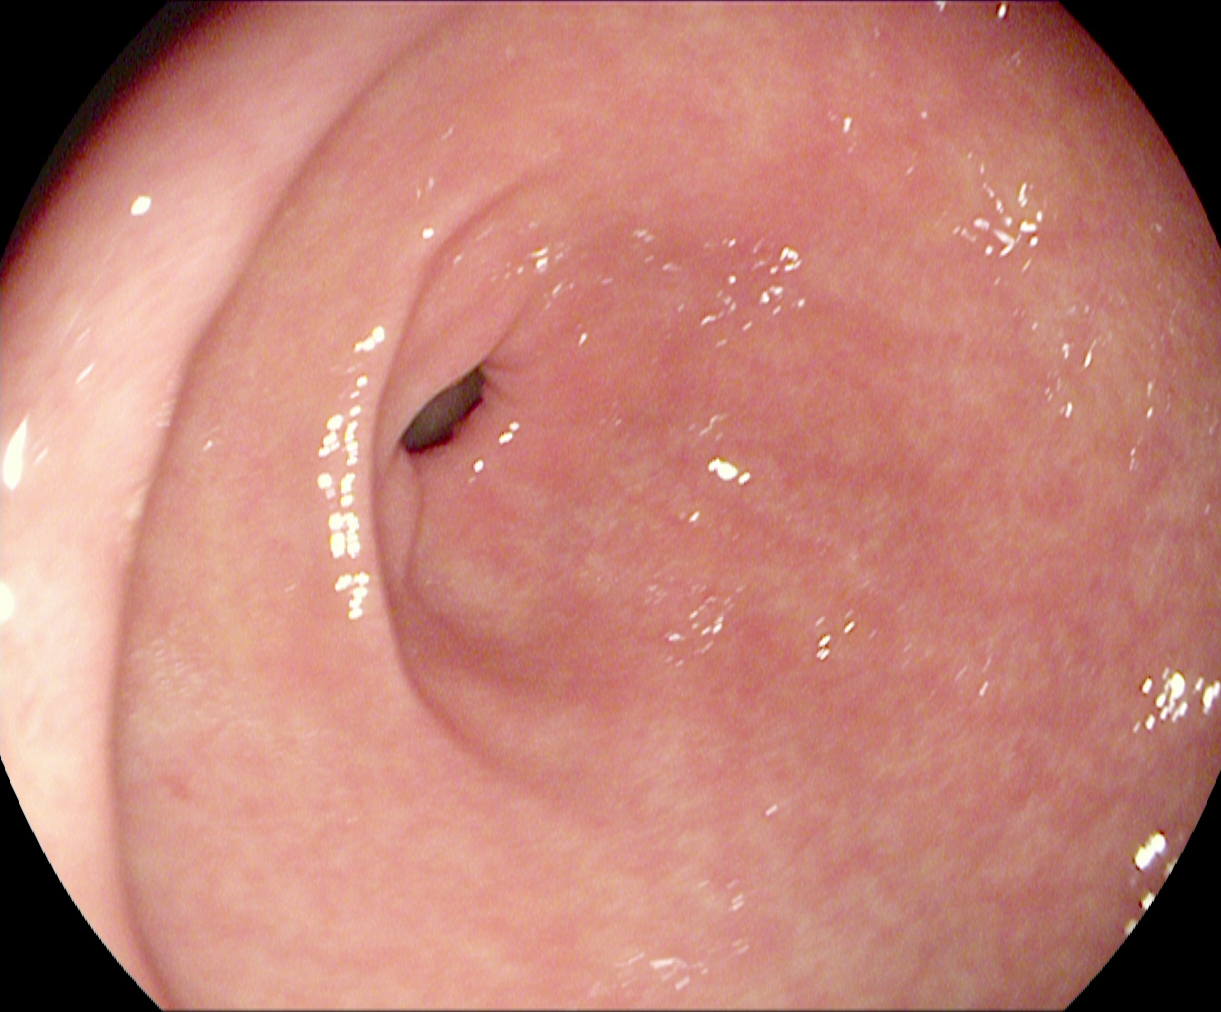Gastroscopy — pylorus.